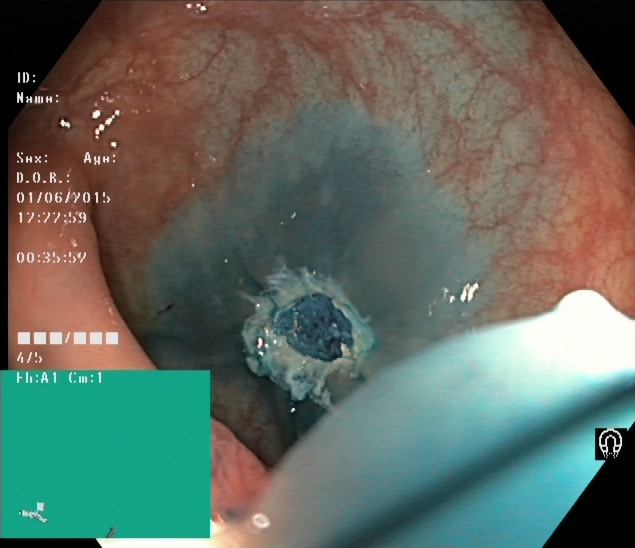modality: lower-GI endoscopy | tract: lower GI tract | finding: dyed resection margins (post-polypectomy)